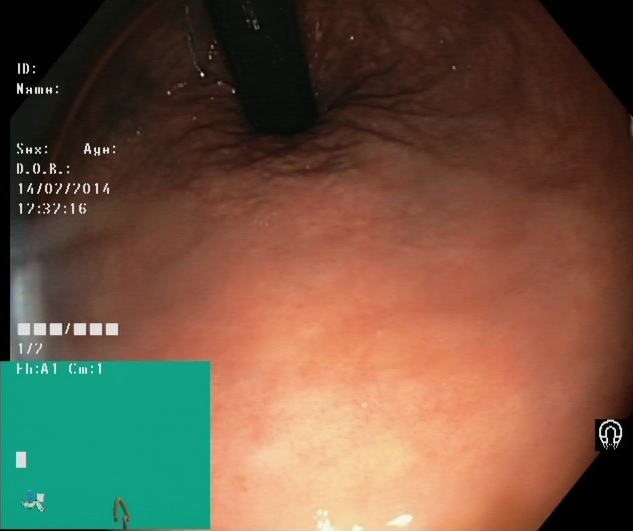Endoscopy image of the lower GI tract showing rectum in retroflexion.